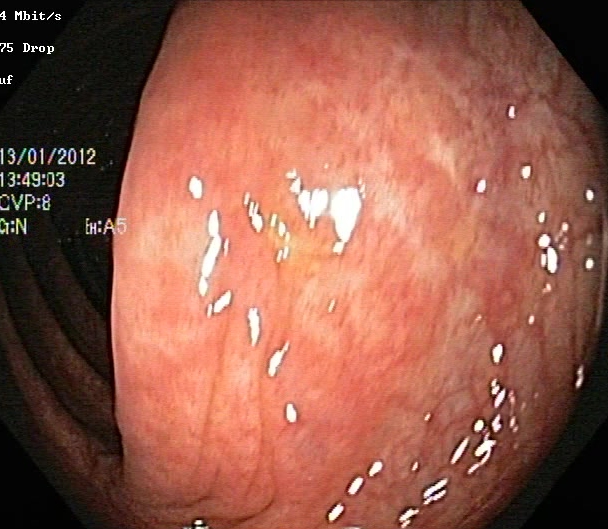Colonoscopy. Pathological finding. Finding: UC, Mayo endoscopic subscore 1.